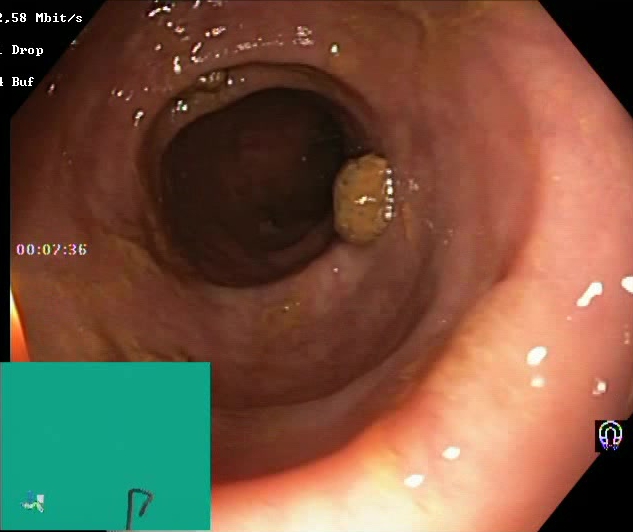Colonoscopy. Tract: lower GI tract. Finding: Boston Bowel Preparation Scale score 2–3 (adequate preparation).